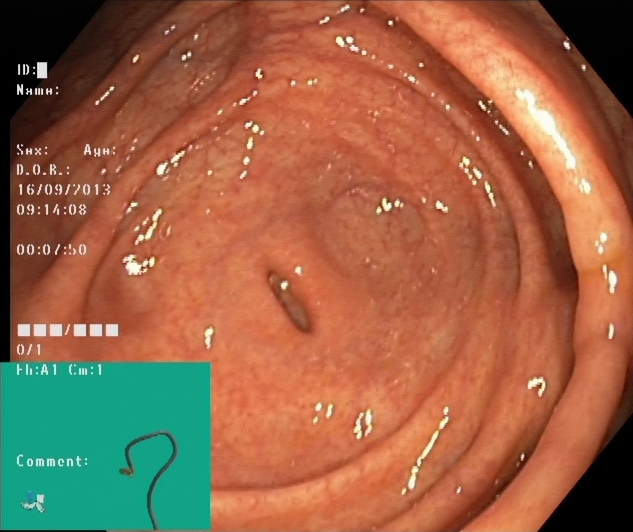Cecum.